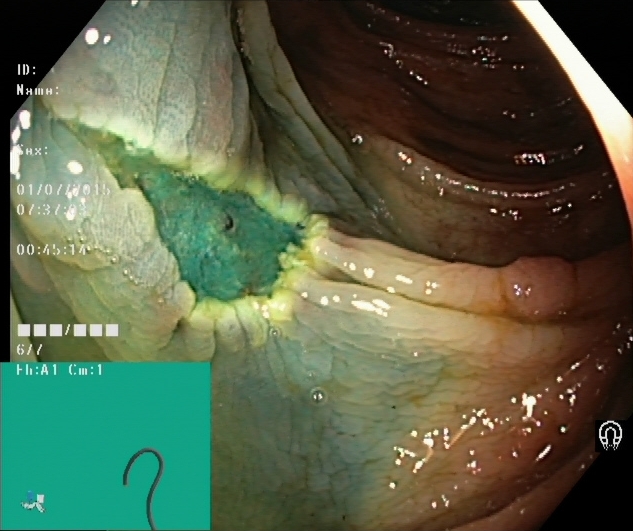This endoscopy frame shows dyed resection margins (post-polypectomy).